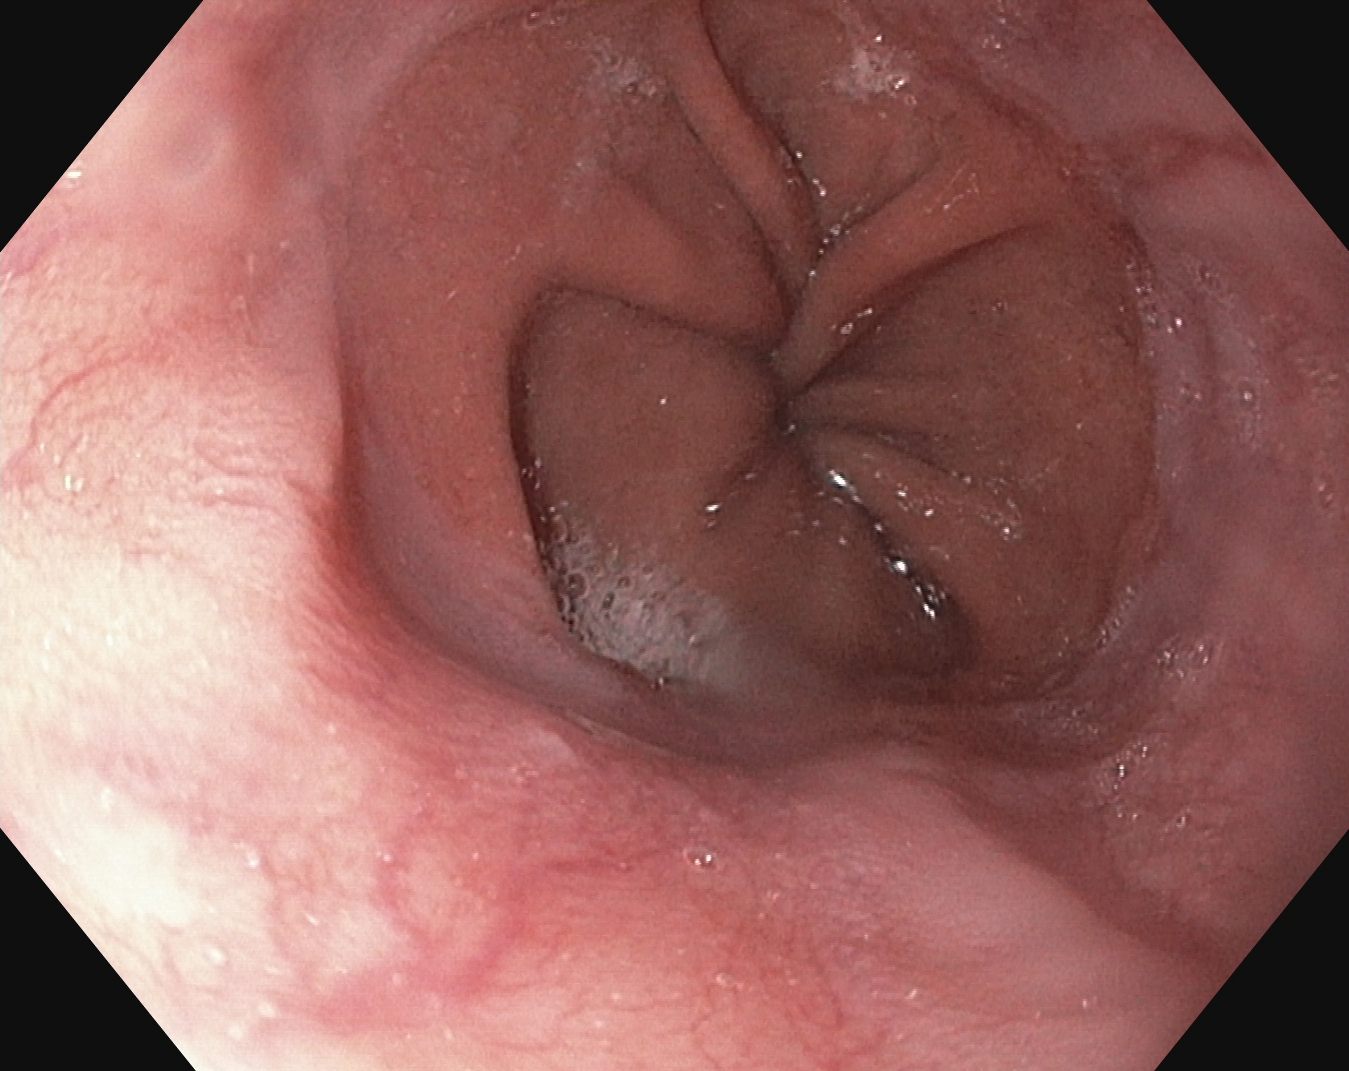{"modality": "gastroscopy", "tract": "upper GI tract", "category": "pathological finding", "finding": "reflux esophagitis, Los Angeles grade A"}